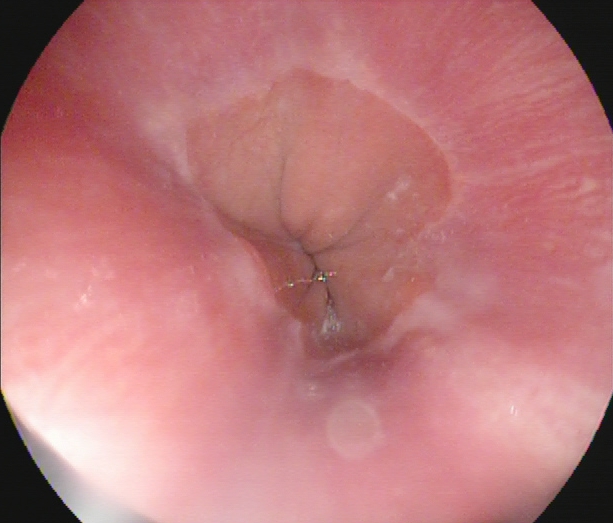{"modality": "esophagogastroduodenoscopy", "finding": "Z-line (gastroesophageal junction)"}